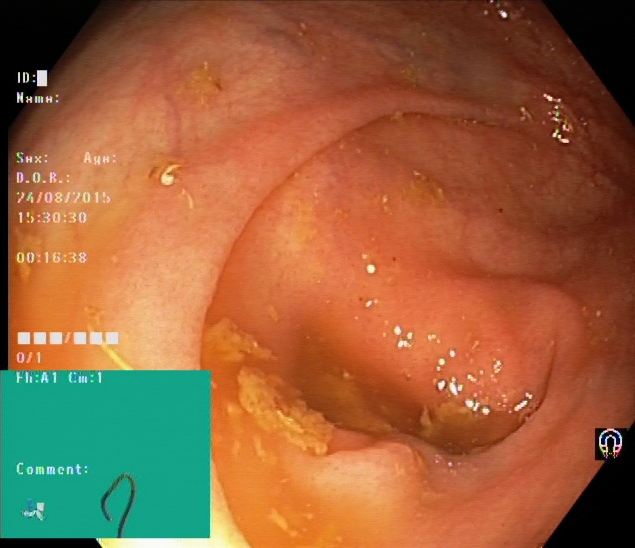{"modality": "colonoscopy", "category": "anatomical landmark", "finding": "cecum"}